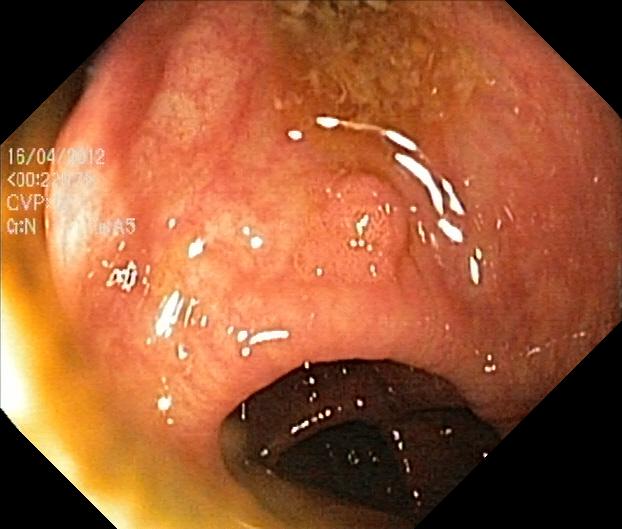GI endoscopy image showing colorectal polyp(s).